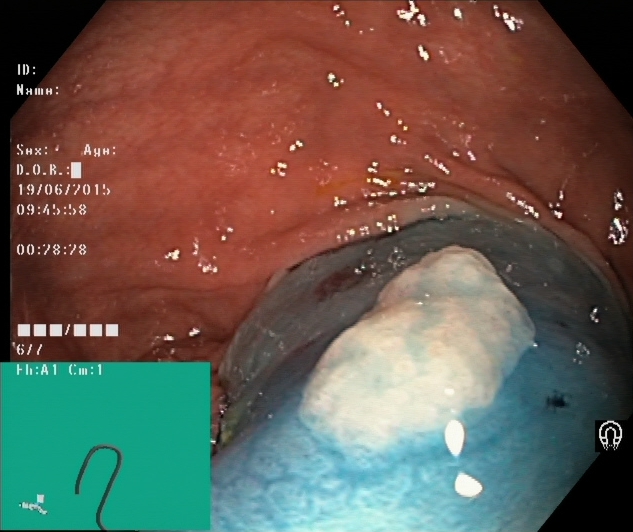Endoscopic frame of the lower GI tract showing dyed and lifted polyp (pre-resection).